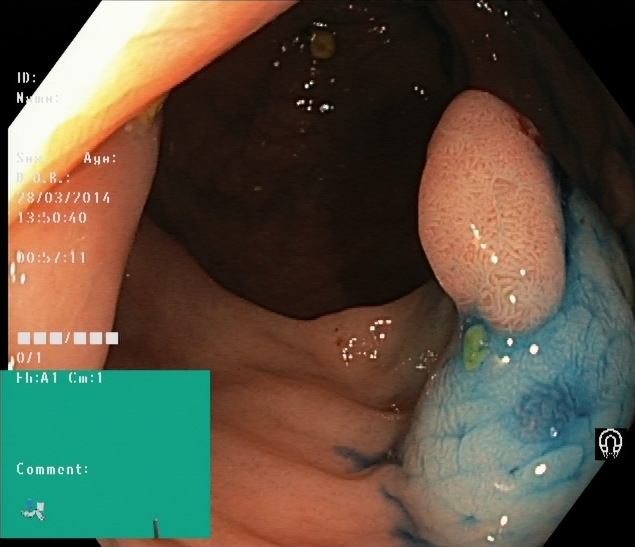Dyed and lifted polyp (pre-resection).